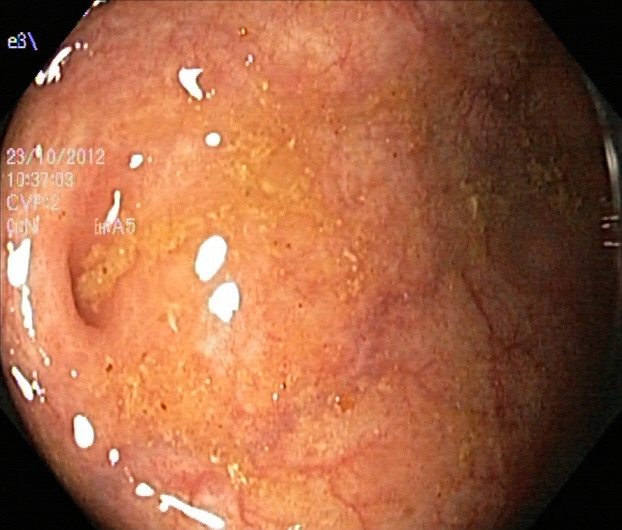PROCEDURE: Lower-GI endoscopy.
FINDINGS: Ulcerative colitis, Mayo endoscopic subscore 1.